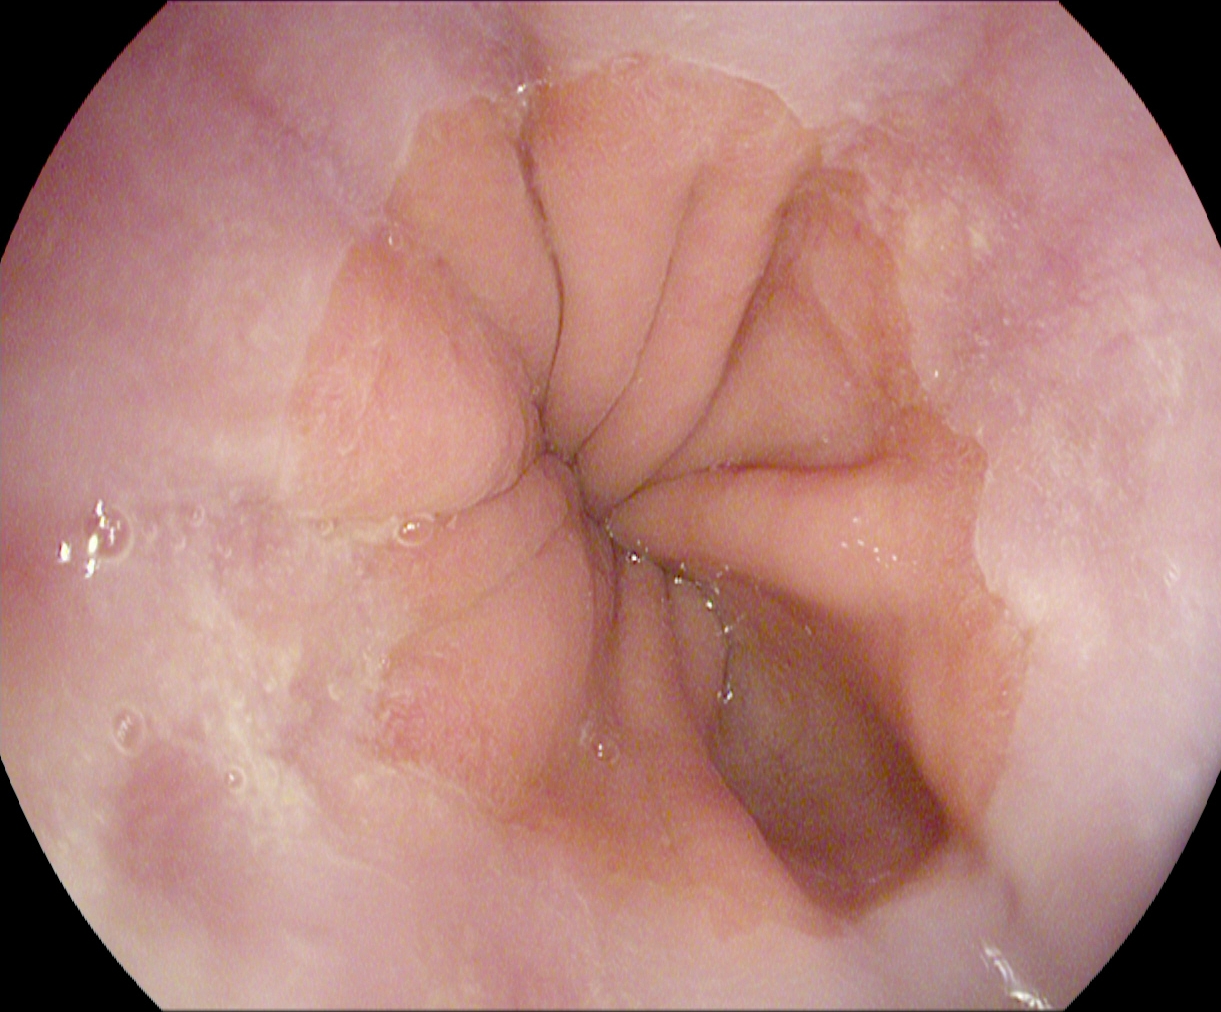Z-line (gastroesophageal junction).